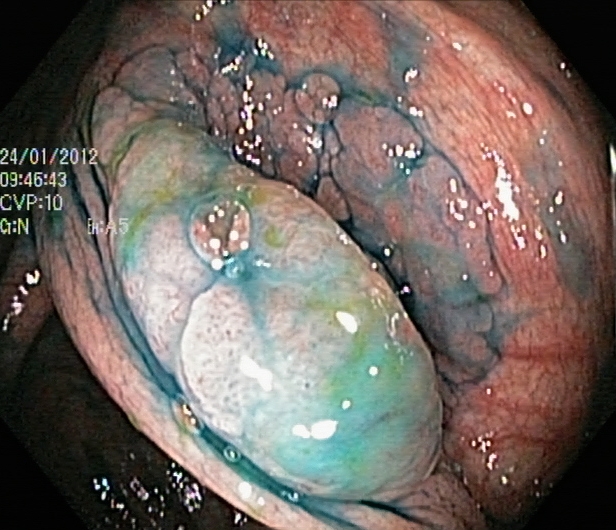PROCEDURE: Lower gastrointestinal endoscopy.
FINDINGS: Dyed and lifted polyp (pre-resection).